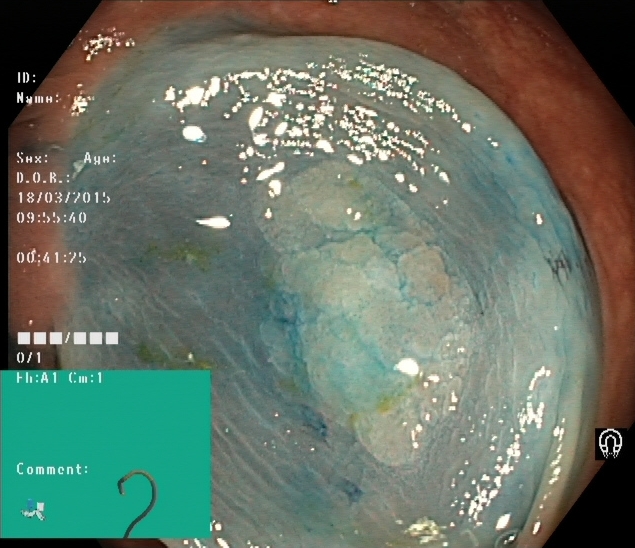Lower-GI endoscopy. Tract: lower GI tract. Finding: dyed and lifted polyp (pre-resection).